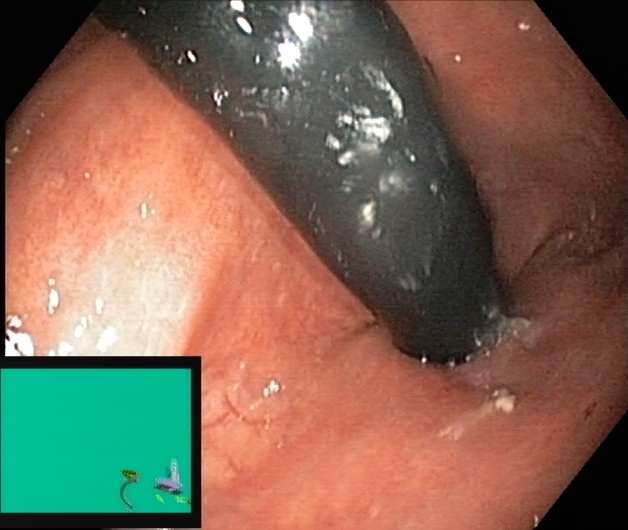Endoscopic image of the lower GI tract showing rectum in retroflexion.